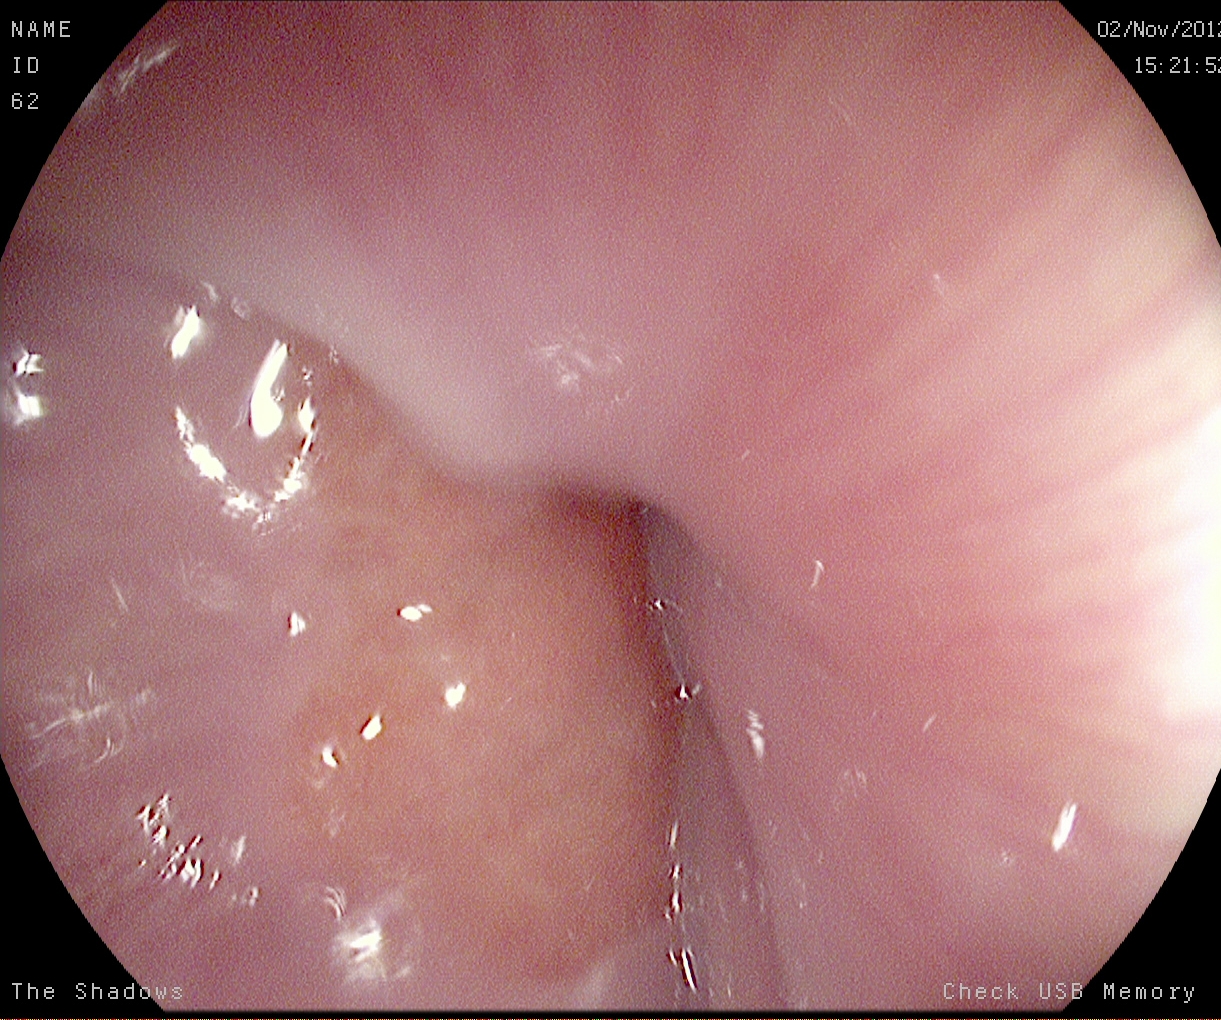GI endoscopy image of the upper GI tract showing Z-line (gastroesophageal junction).